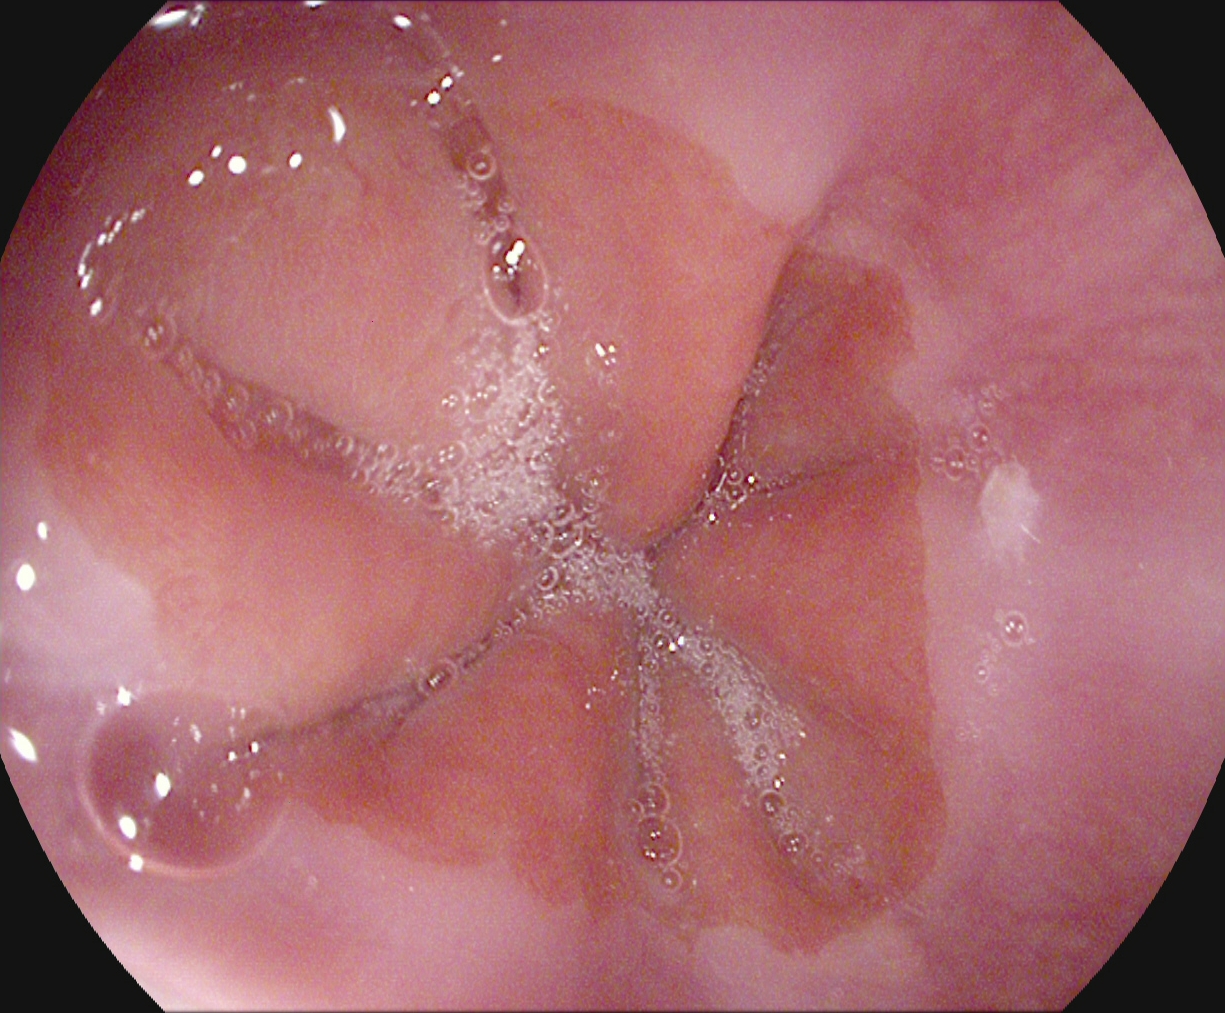modality: gastroscopy
tract: upper GI tract
finding: Z-line (gastroesophageal junction)